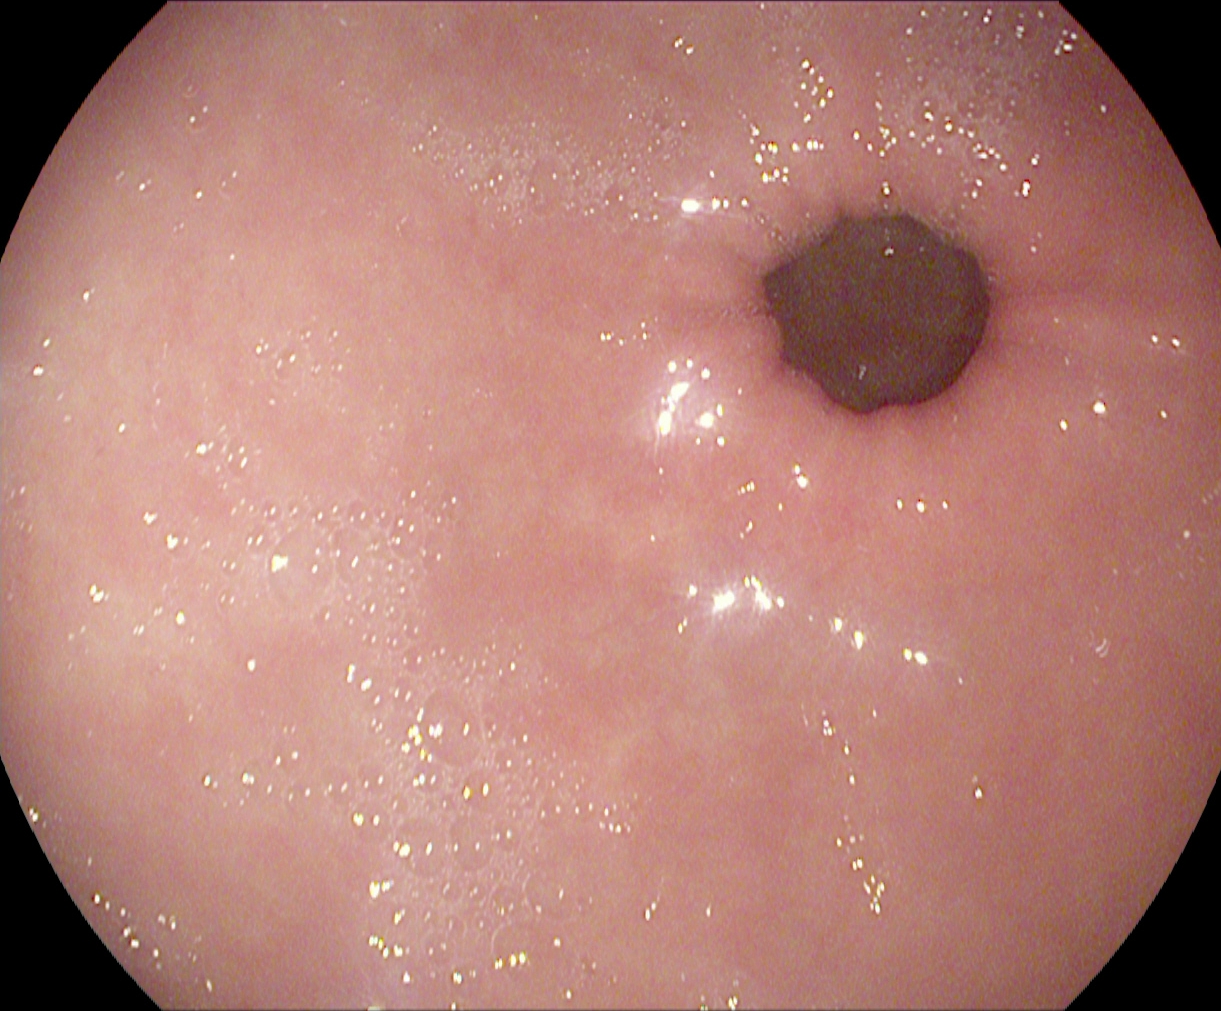modality: gastroscopy | tract: upper GI tract | finding: pylorus